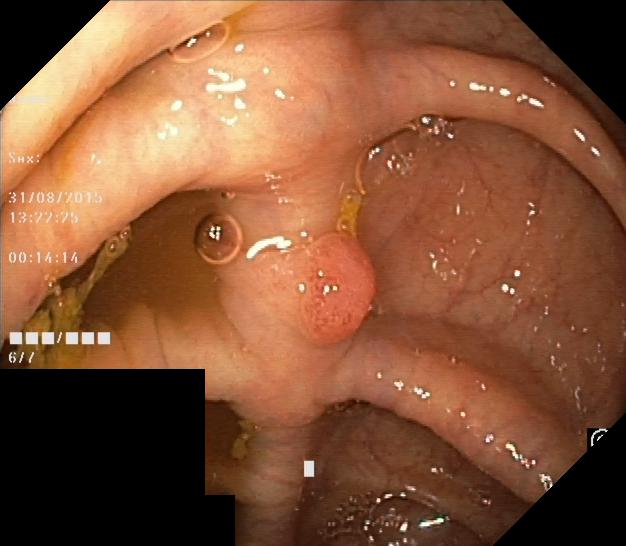Endoscopy image showing colorectal polyp(s).